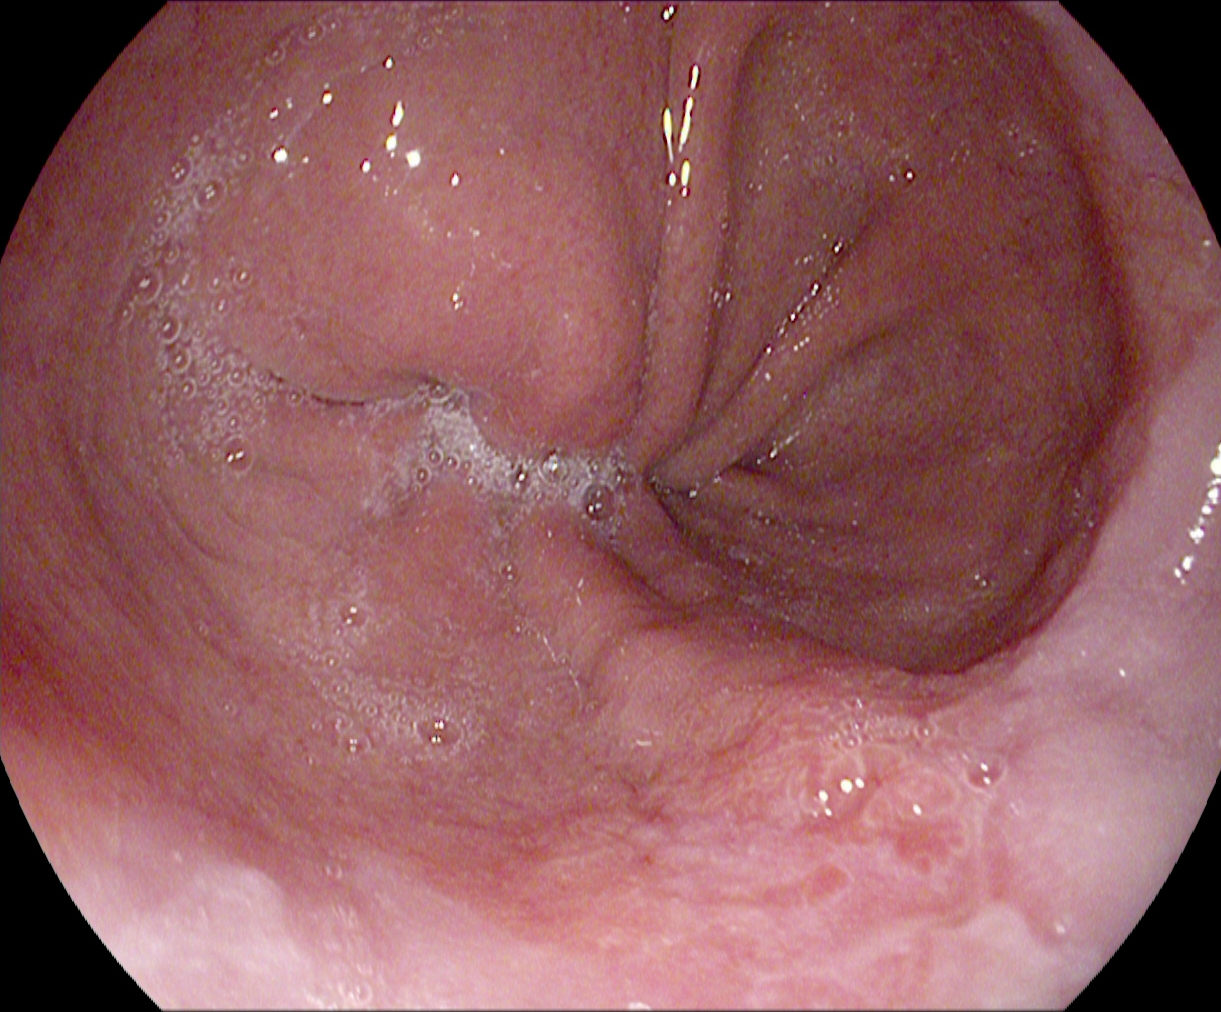Reflux esophagitis, Los Angeles grade A.